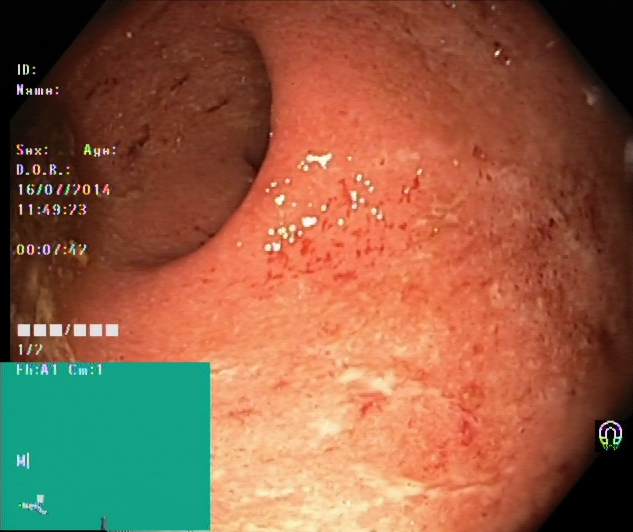GI endoscopy image of the lower GI tract showing UC, Mayo endoscopic subscore 2.